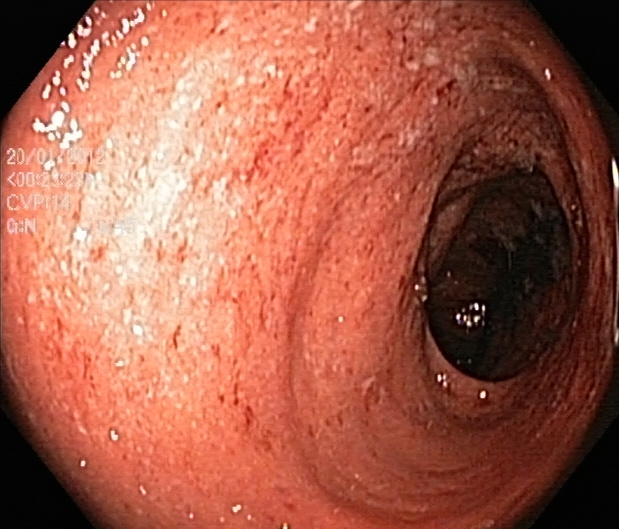modality: lower gastrointestinal endoscopy | finding: ulcerative colitis, Mayo endoscopic subscore 2–3